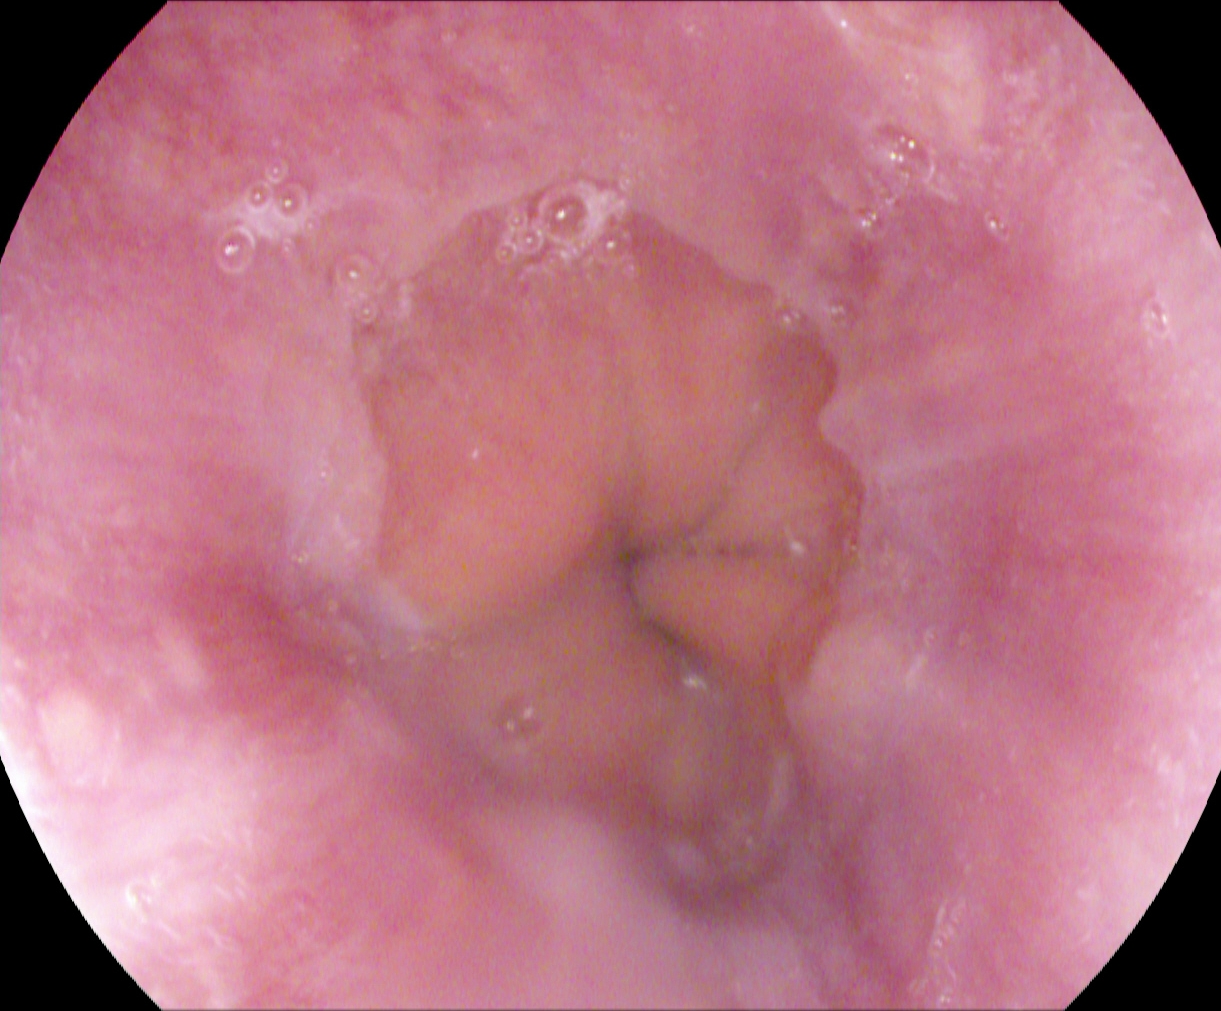GI endoscopy image of the upper GI tract showing Z-line (gastroesophageal junction).